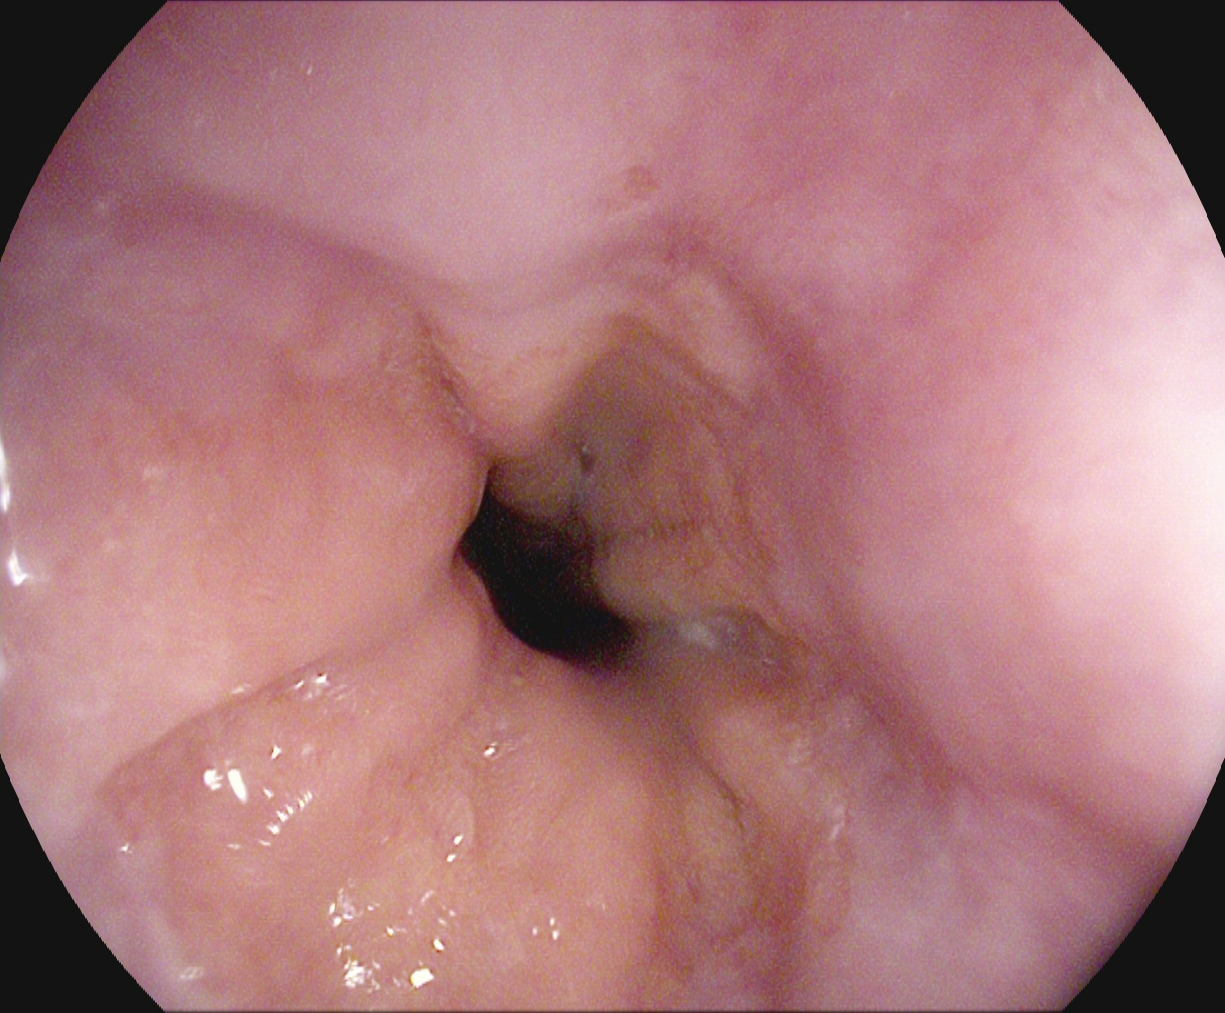This endoscopy frame shows Z-line (gastroesophageal junction).